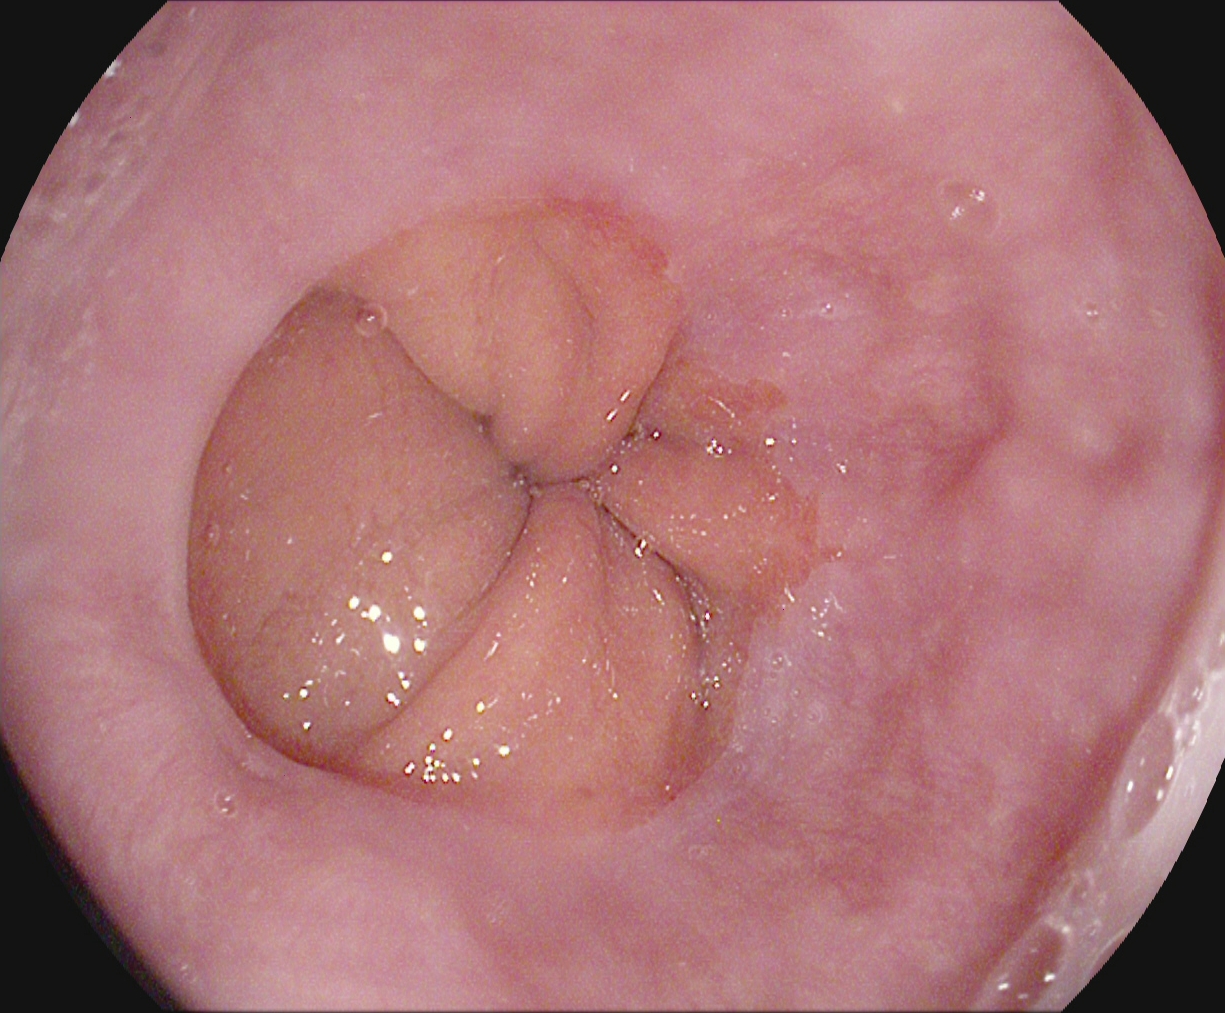modality: upper-GI endoscopy | tract: upper GI tract | category: anatomical landmark | finding: Z-line (gastroesophageal junction)